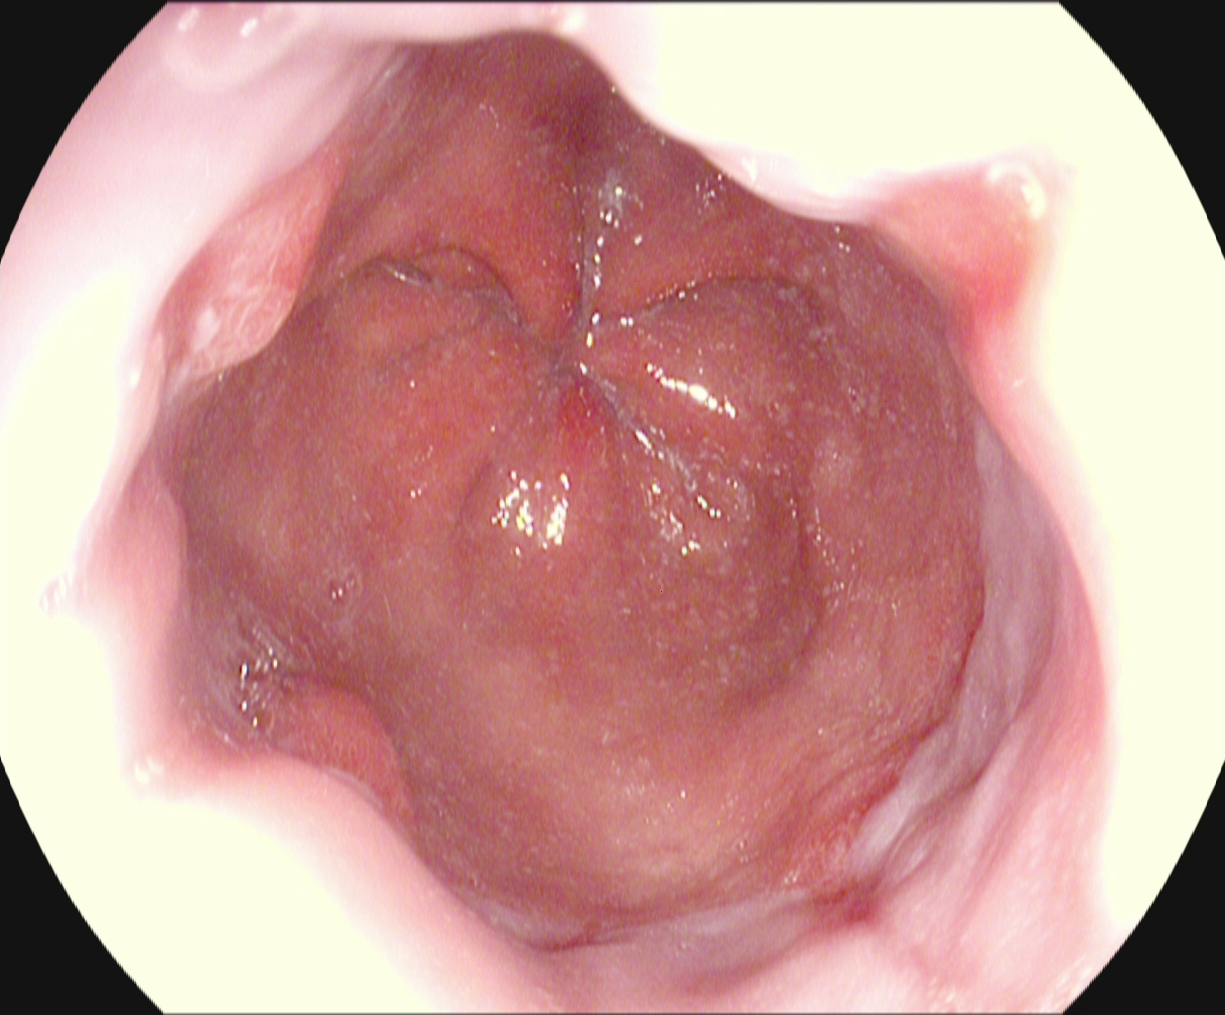Esophagogastroduodenoscopy. Tract: upper GI tract. Finding: reflux esophagitis, Los Angeles grade A.